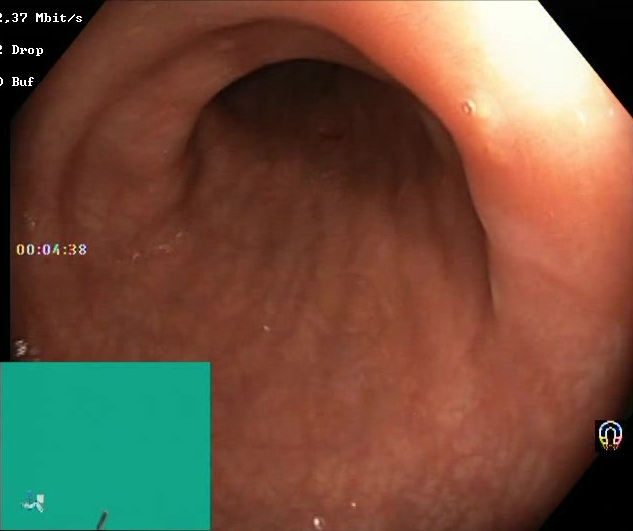PROCEDURE: Lower gastrointestinal endoscopy.
CATEGORY: Mucosal-view quality.
FINDINGS: Boston Bowel Preparation Scale score 2–3 (adequate preparation).